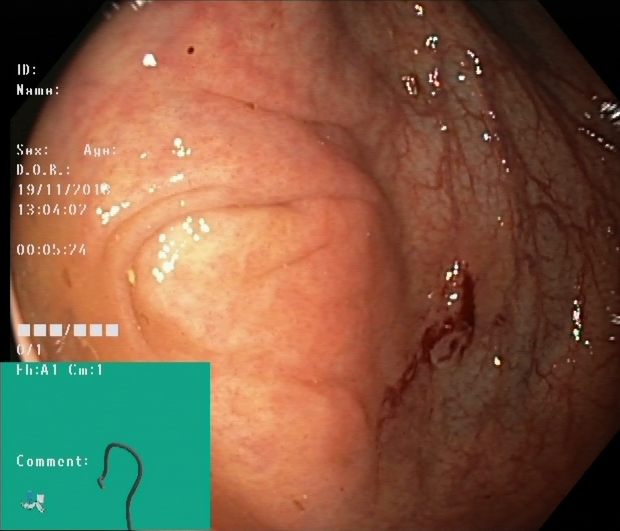{"modality": "colonoscopy", "category": "anatomical landmark", "finding": "cecum"}